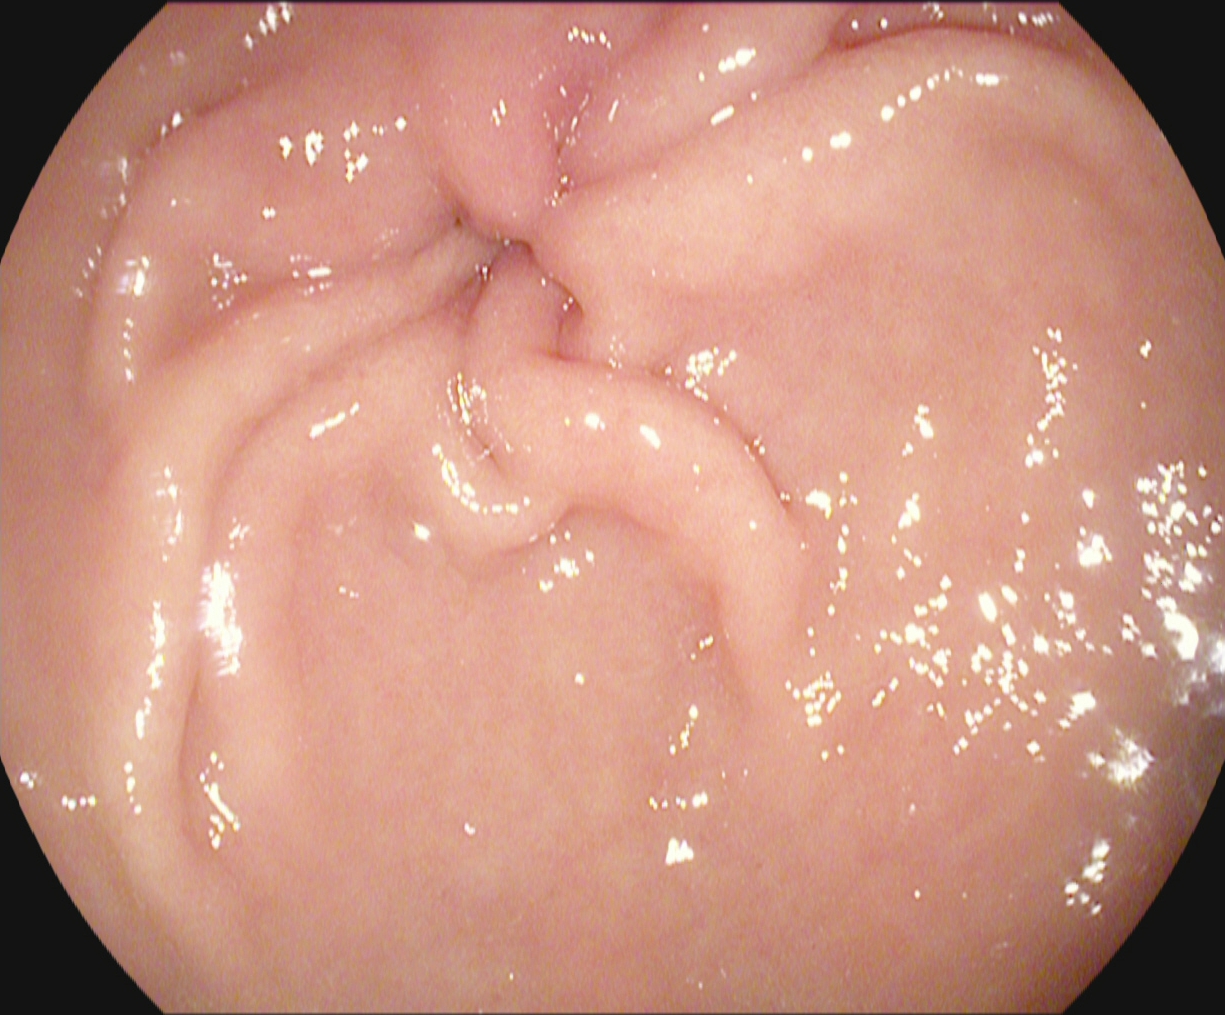EGD — pylorus.